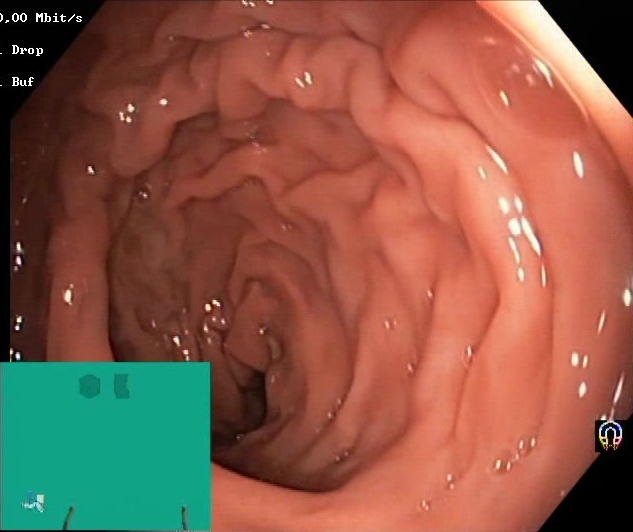modality: lower-GI endoscopy; tract: lower GI tract; category: mucosal-view quality; finding: Boston Bowel Preparation Scale score 2–3 (adequate preparation)